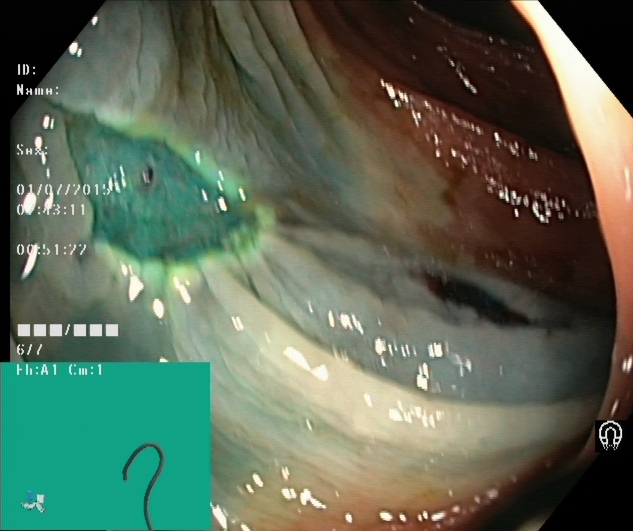Lower-GI endoscopy — dyed resection margins (post-polypectomy).